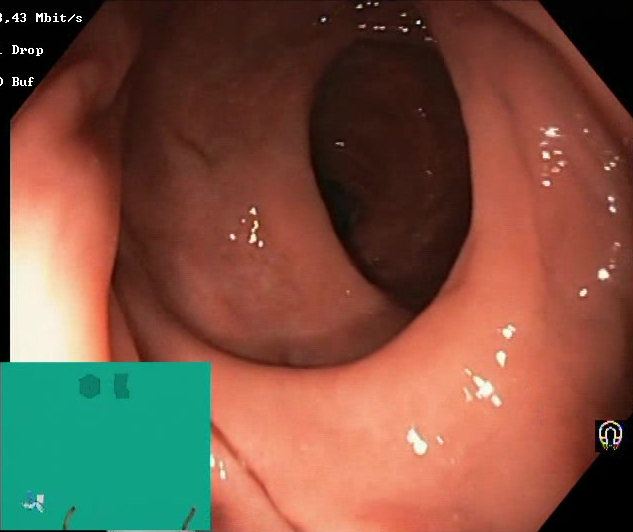modality: lower-GI endoscopy
tract: lower GI tract
finding: BBPS score 2–3 (adequate preparation)